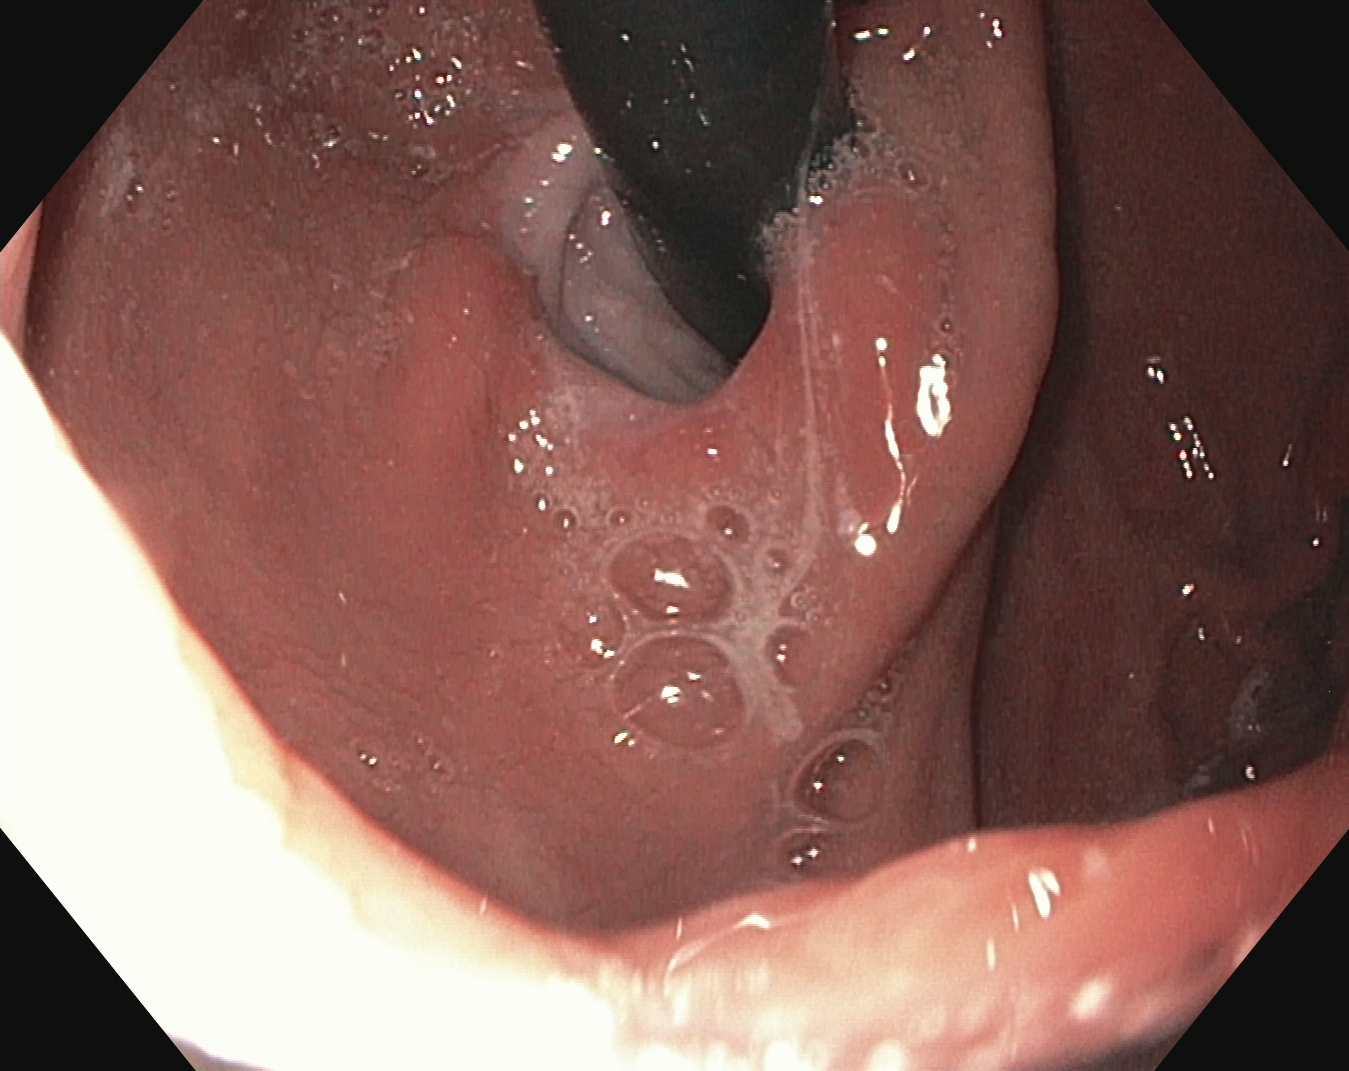stomach in retroflexion.